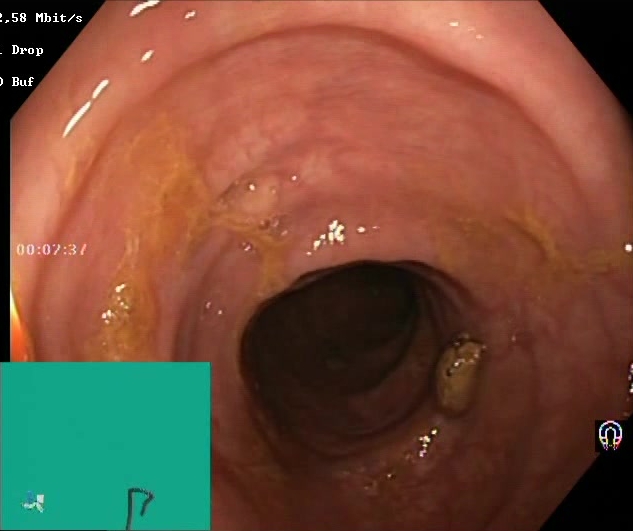Lower-GI endoscopy — BBPS score 2–3 (adequate preparation).